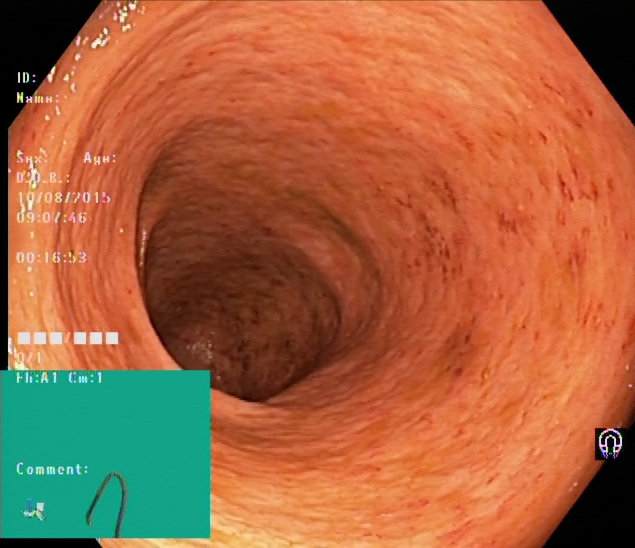Colonoscopy image showing ulcerative colitis, Mayo endoscopic subscore 2.